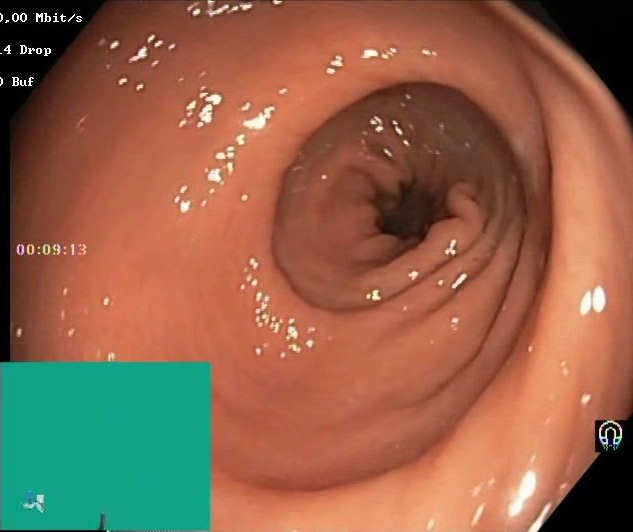Endoscopic image showing Boston Bowel Preparation Scale score 2–3 (adequate preparation).